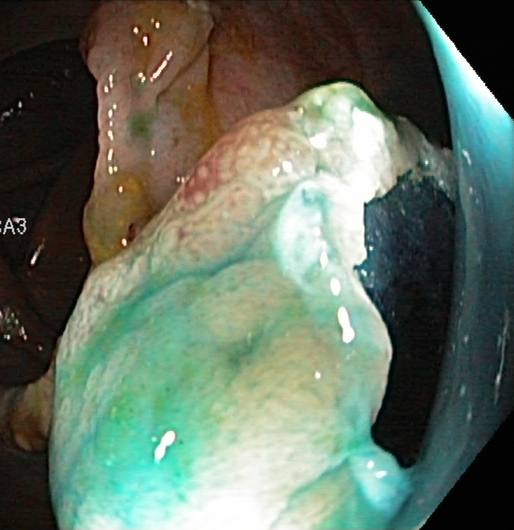PROCEDURE: Lower gastrointestinal endoscopy.
CATEGORY: Therapeutic intervention.
FINDINGS: Dyed resection margins (post-polypectomy).